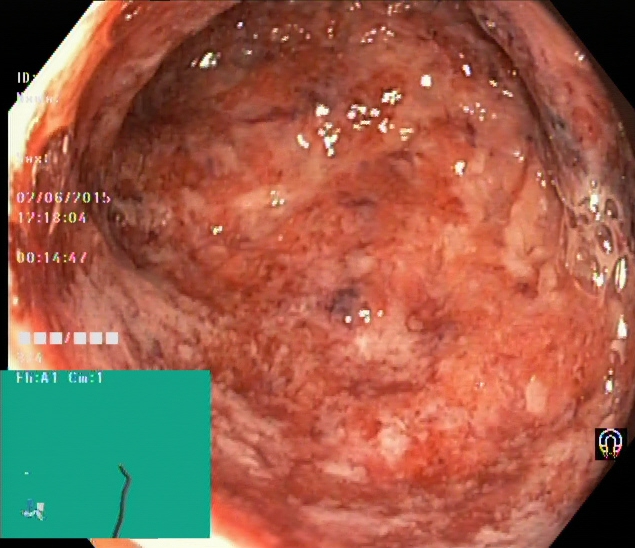PROCEDURE: Lower gastrointestinal endoscopy.
FINDINGS: Ulcerative colitis, Mayo endoscopic subscore 3.